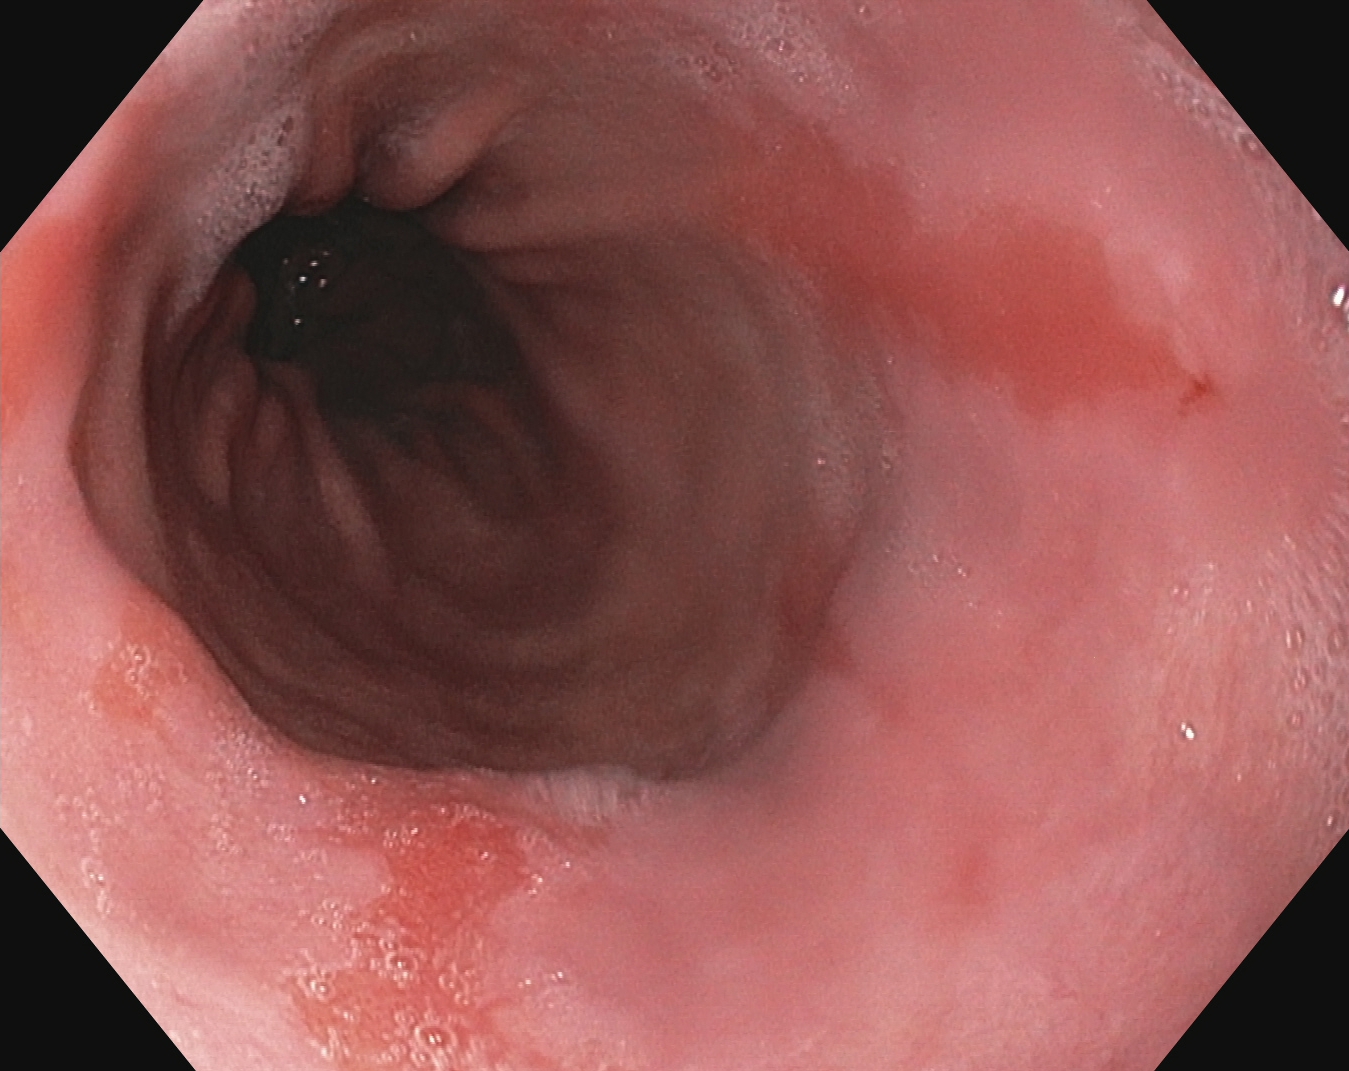Upper-GI endoscopy. Tract: upper GI tract. Pathological finding. Finding: reflux esophagitis, Los Angeles grade A.